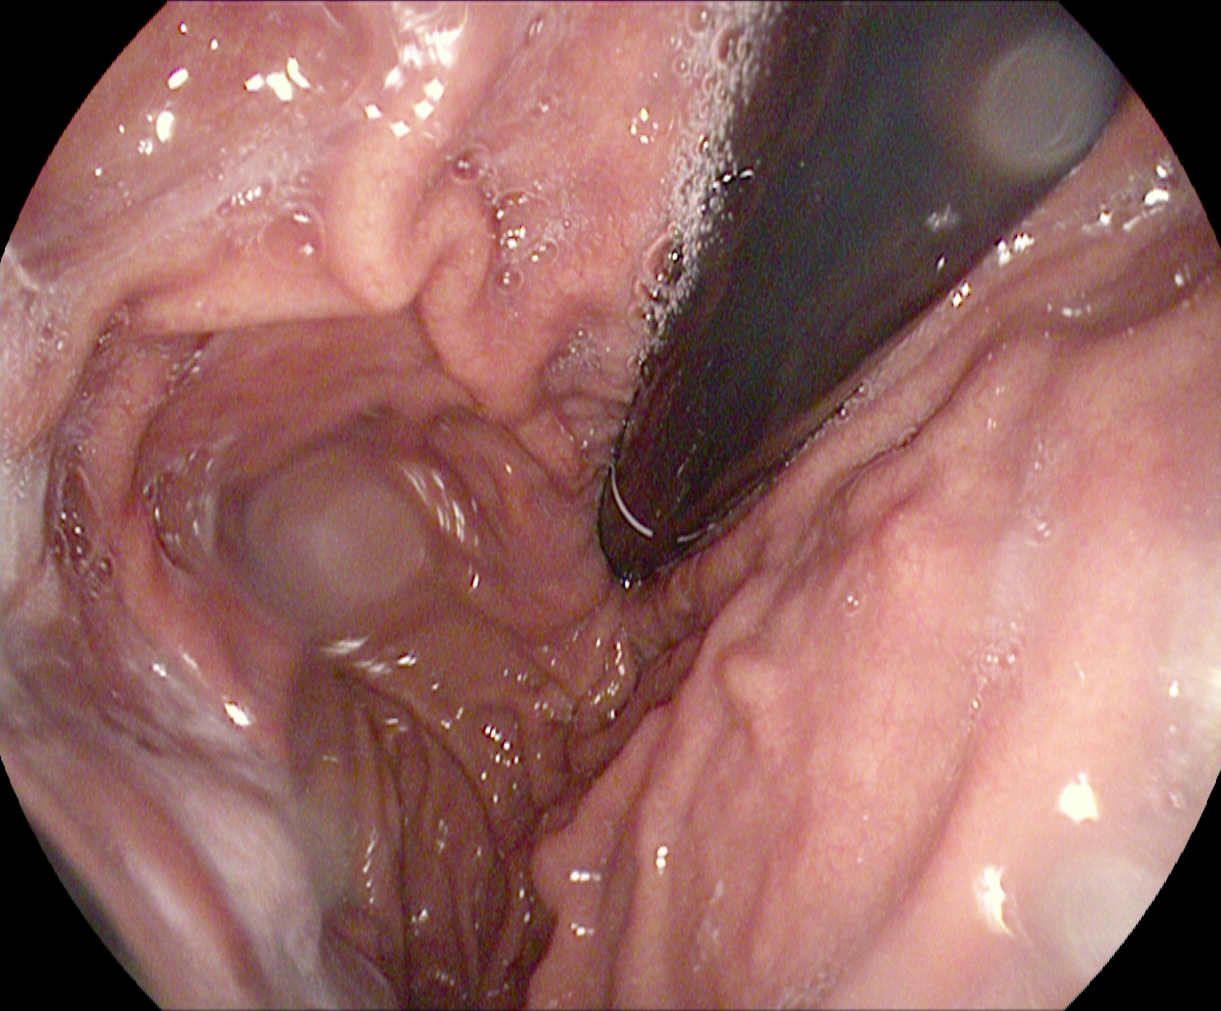{"modality": "gastroscopy", "finding": "stomach in retroflexion"}